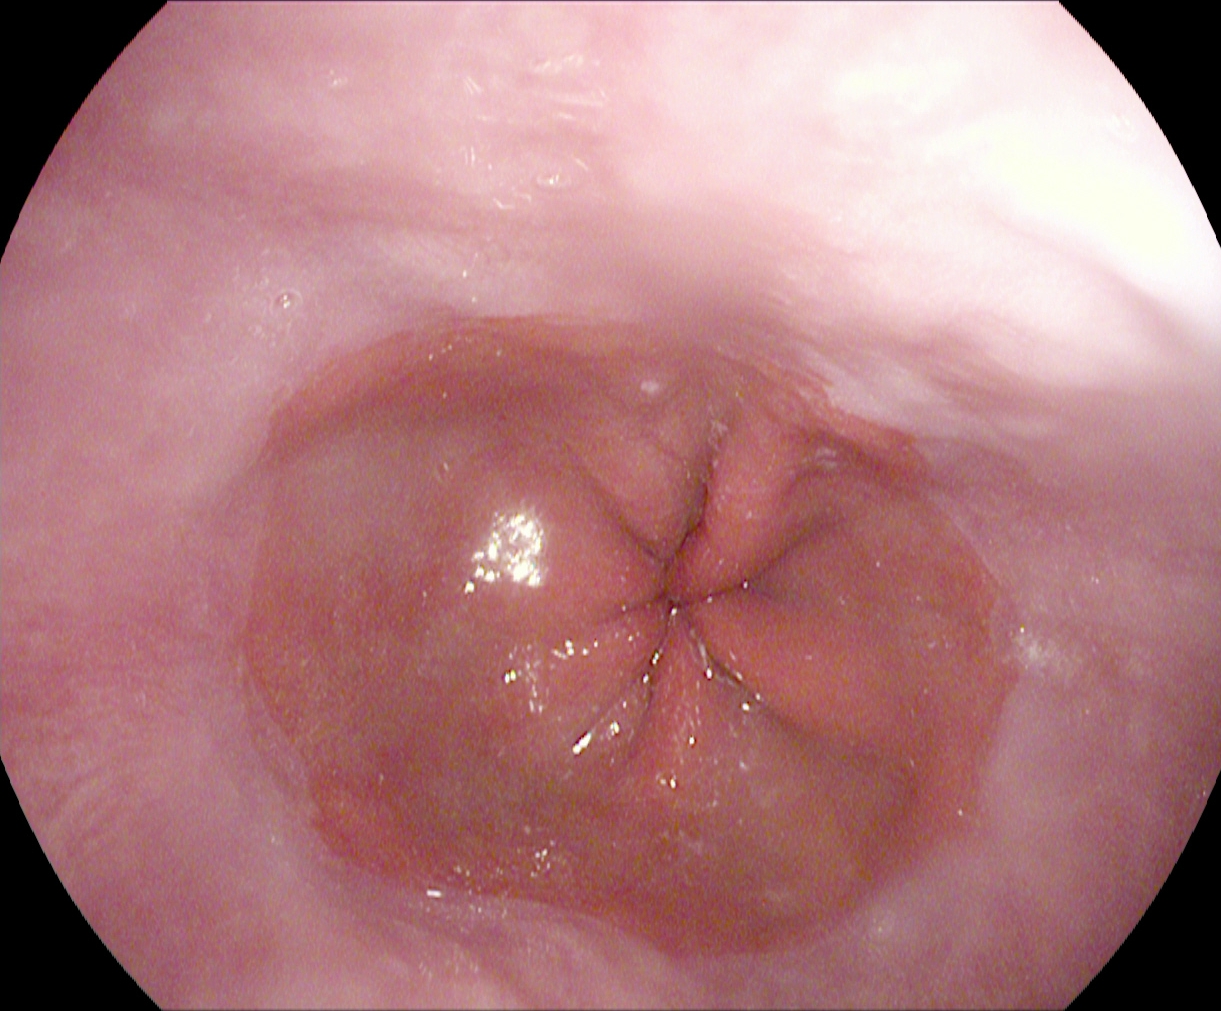This endoscopic image of the upper GI tract shows Z-line (gastroesophageal junction).